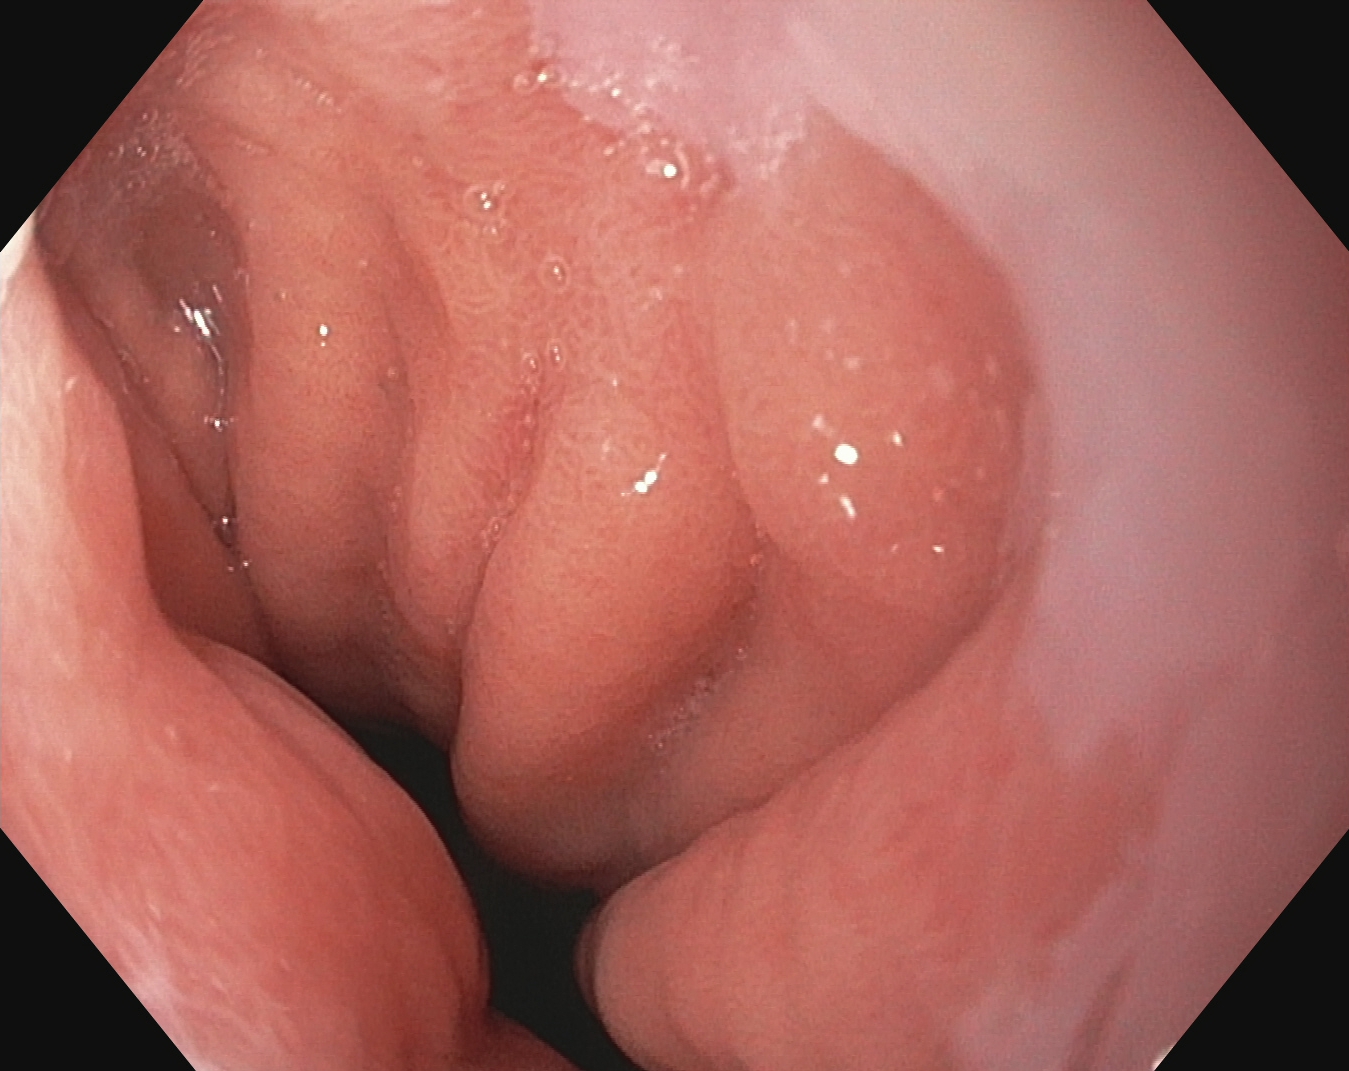Esophagogastroduodenoscopy — Z-line (gastroesophageal junction).